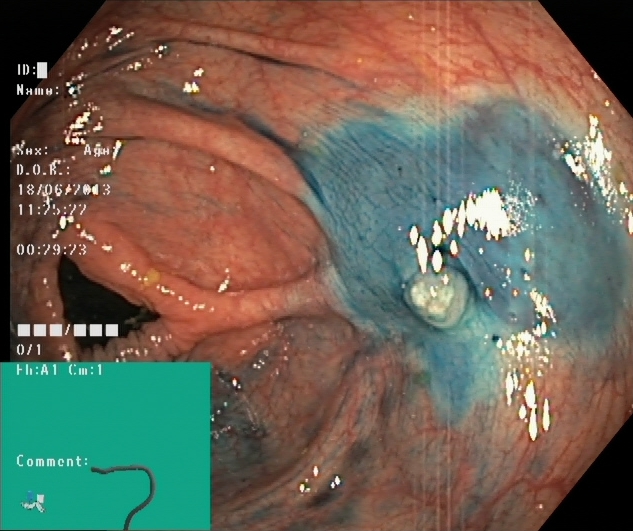Colonoscopy. Therapeutic intervention. Finding: dyed and lifted polyp (pre-resection).